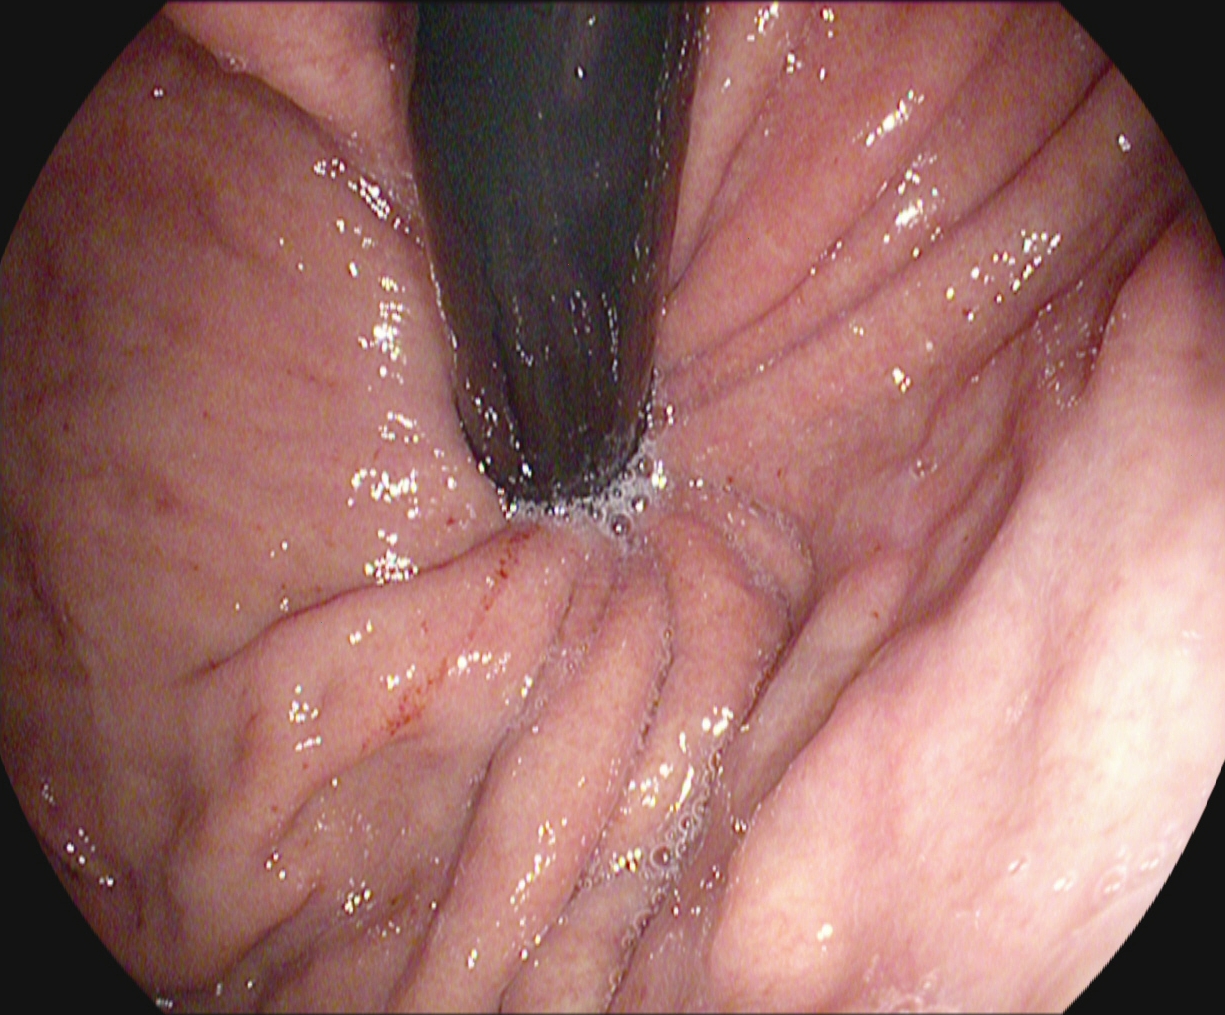Gastrointestinal endoscopy image showing stomach in retroflexion.